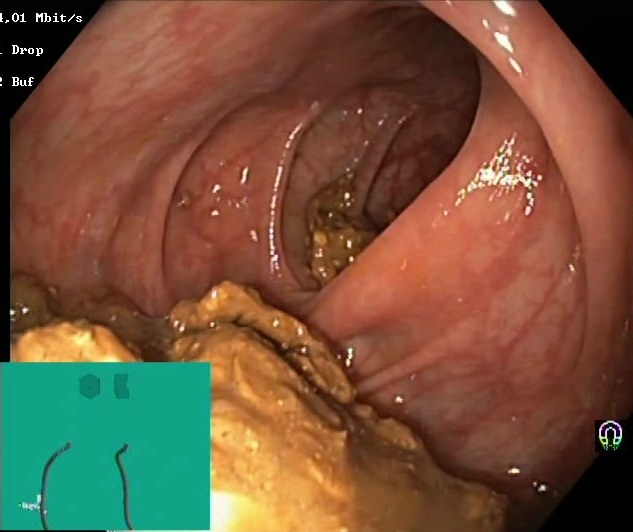PROCEDURE: Lower-GI endoscopy.
CATEGORY: Mucosal-view quality.
FINDINGS: Boston Bowel Preparation Scale score 0–1 (inadequate preparation).